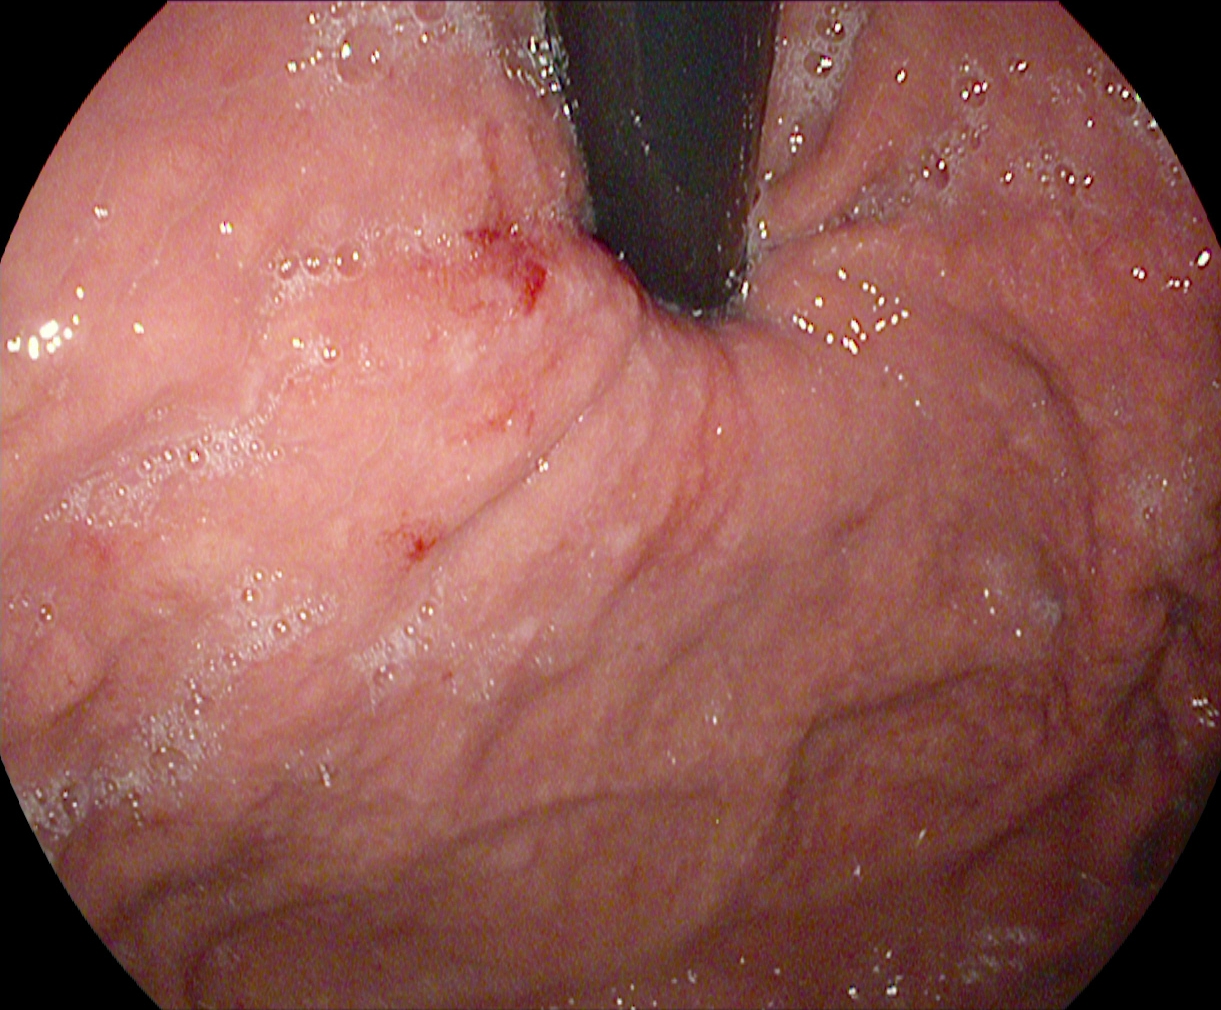modality: EGD; tract: upper GI tract; category: anatomical landmark; finding: stomach in retroflexion